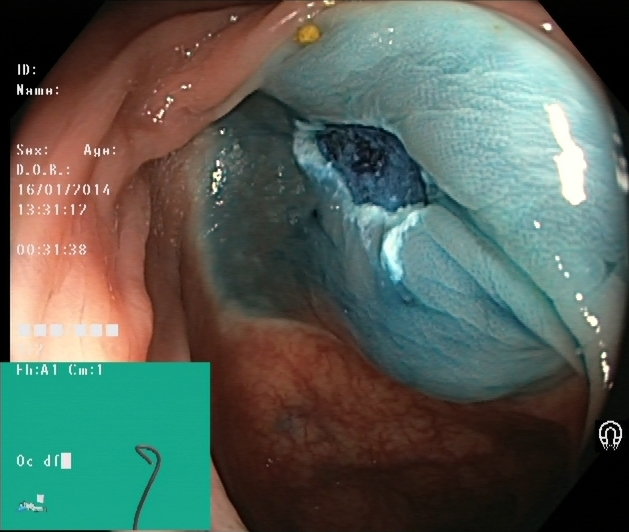Colonoscopy — dyed resection margins (post-polypectomy).